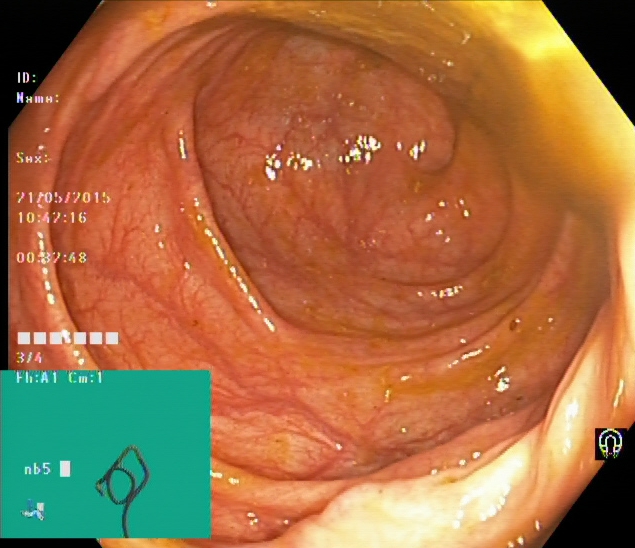Cecum.